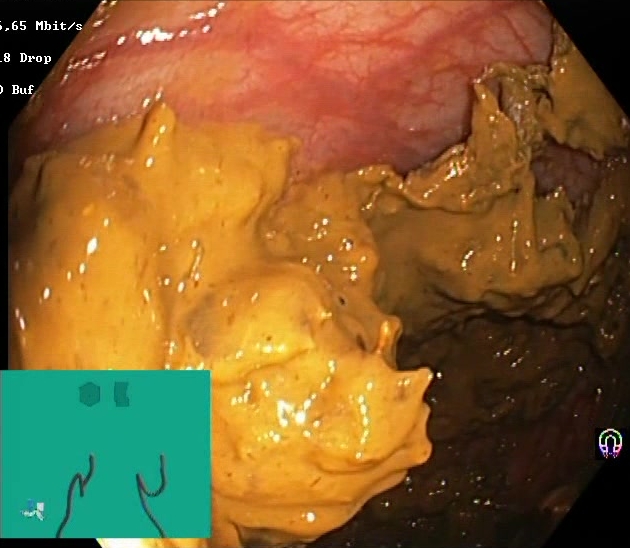This endoscopy frame shows Boston Bowel Preparation Scale score 0–1 (inadequate preparation).